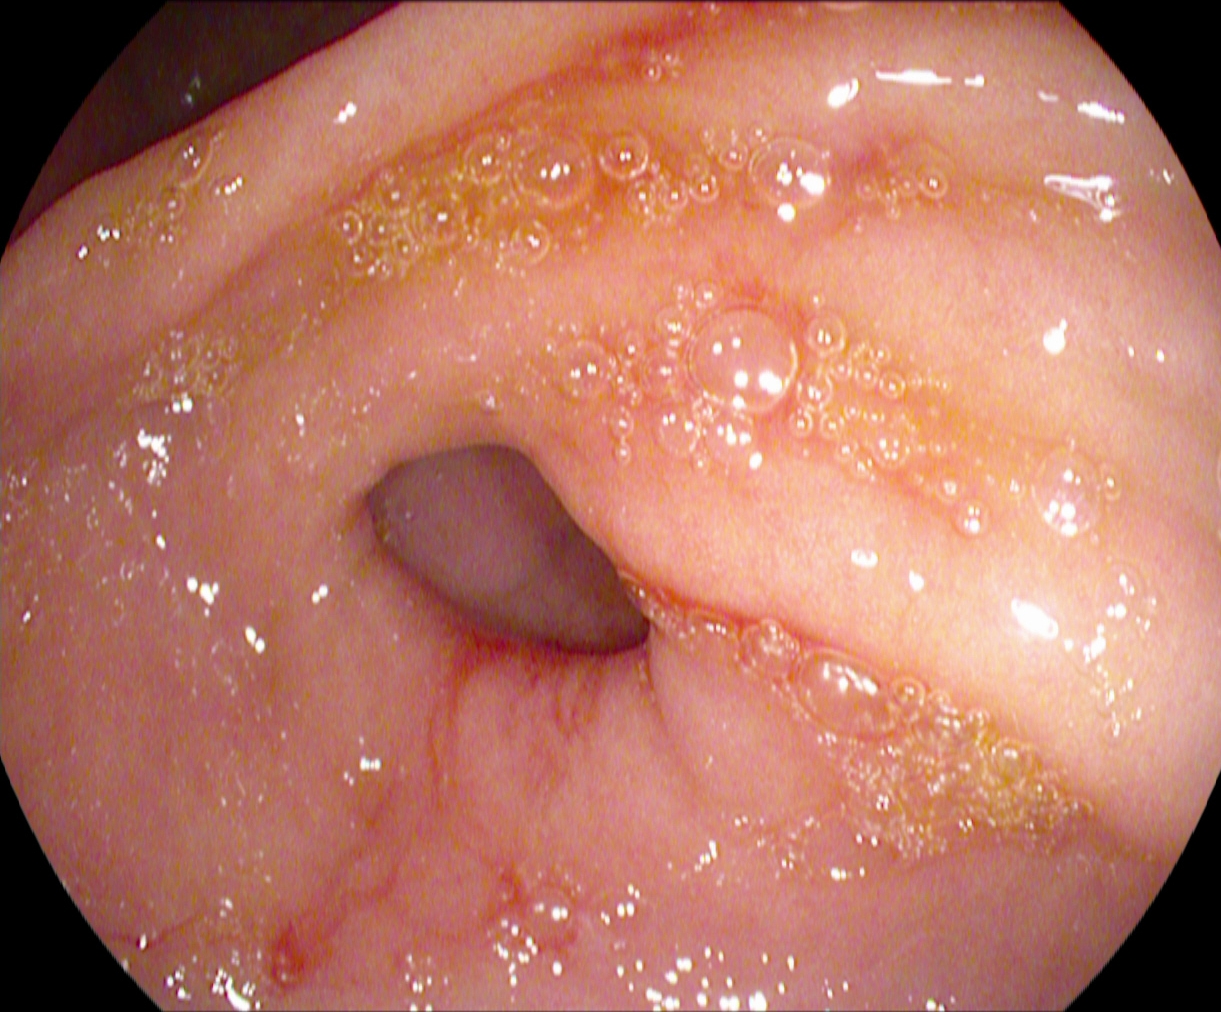Pylorus.